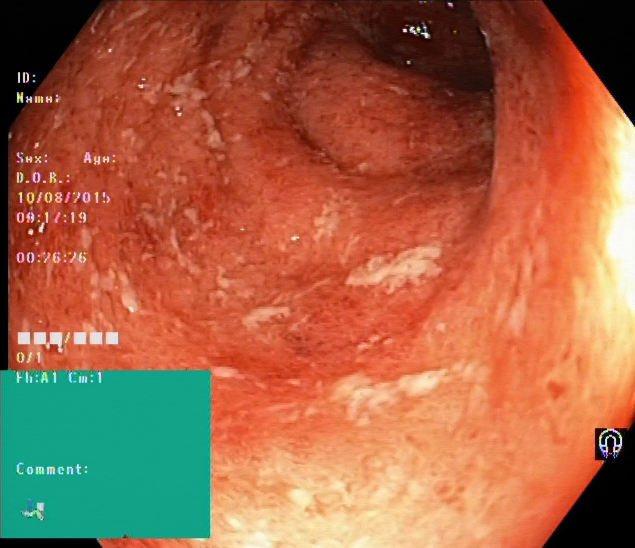Gastrointestinal endoscopy image of the lower GI tract showing ulcerative colitis, Mayo endoscopic subscore 2.